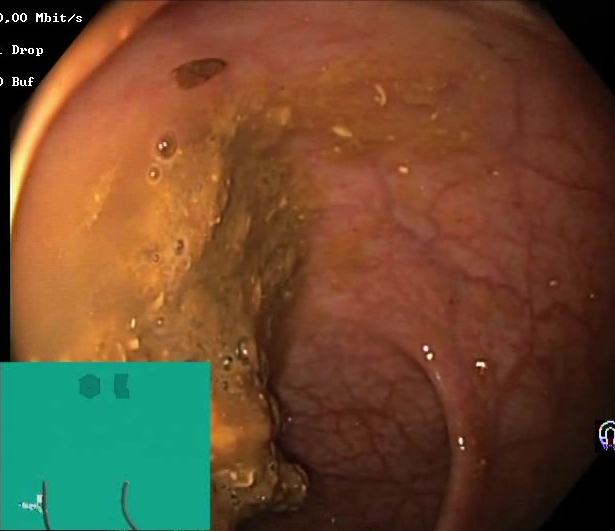Lower-GI endoscopy image showing Boston Bowel Preparation Scale score 0–1 (inadequate preparation).